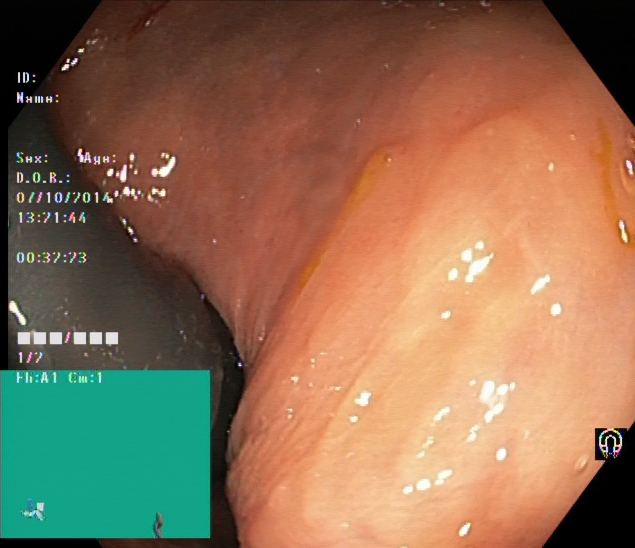Rectum in retroflexion.